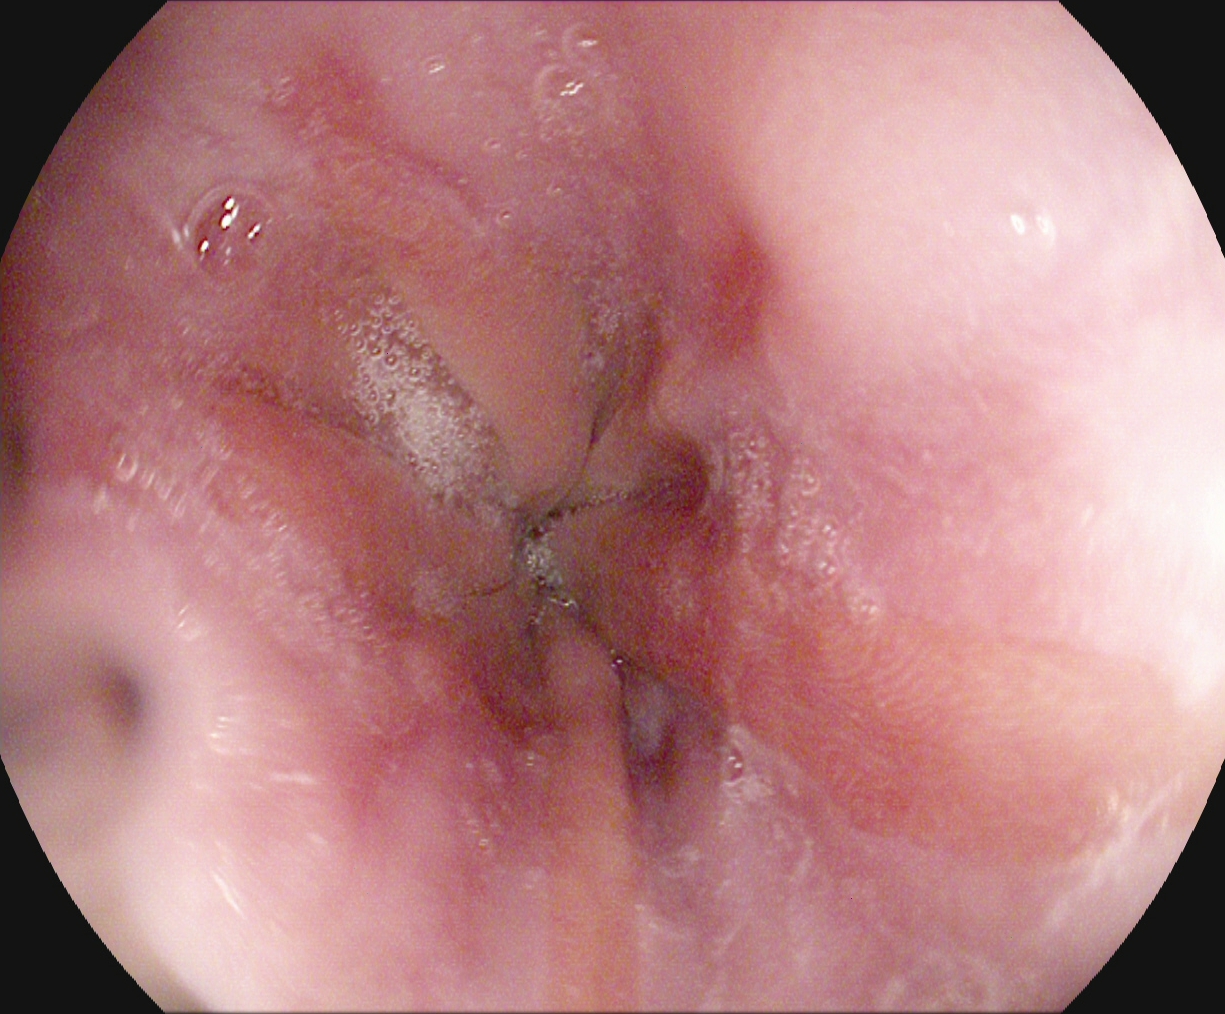Reflux esophagitis, Los Angeles grade A.